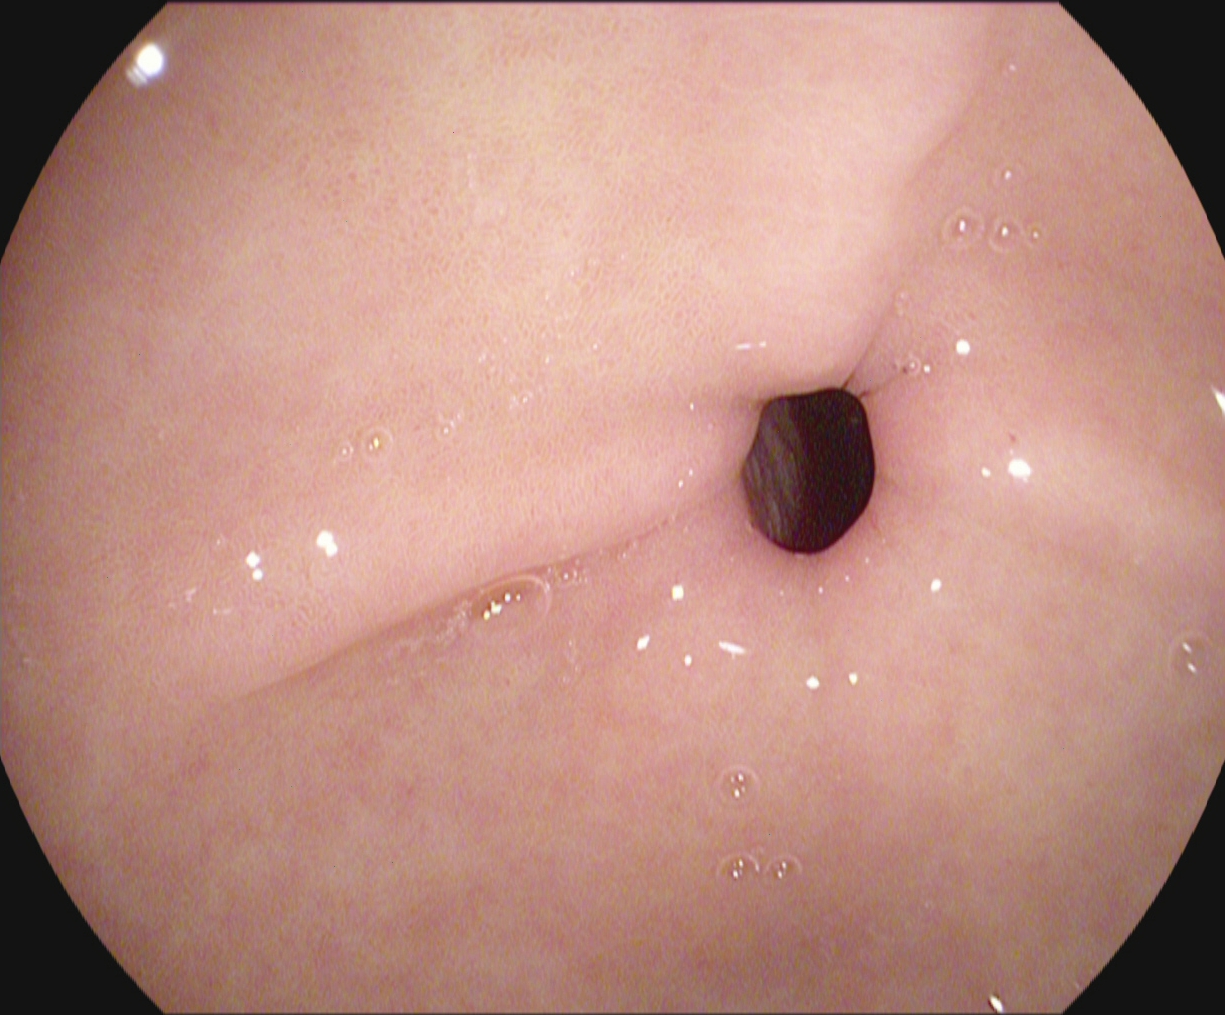PROCEDURE: Upper-GI endoscopy.
CATEGORY: Anatomical landmark.
FINDINGS: Pylorus.